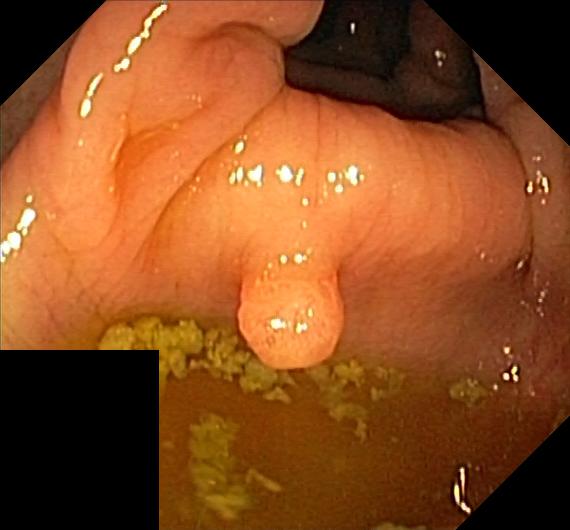Endoscopic image of the lower GI tract showing colorectal polyp(s).